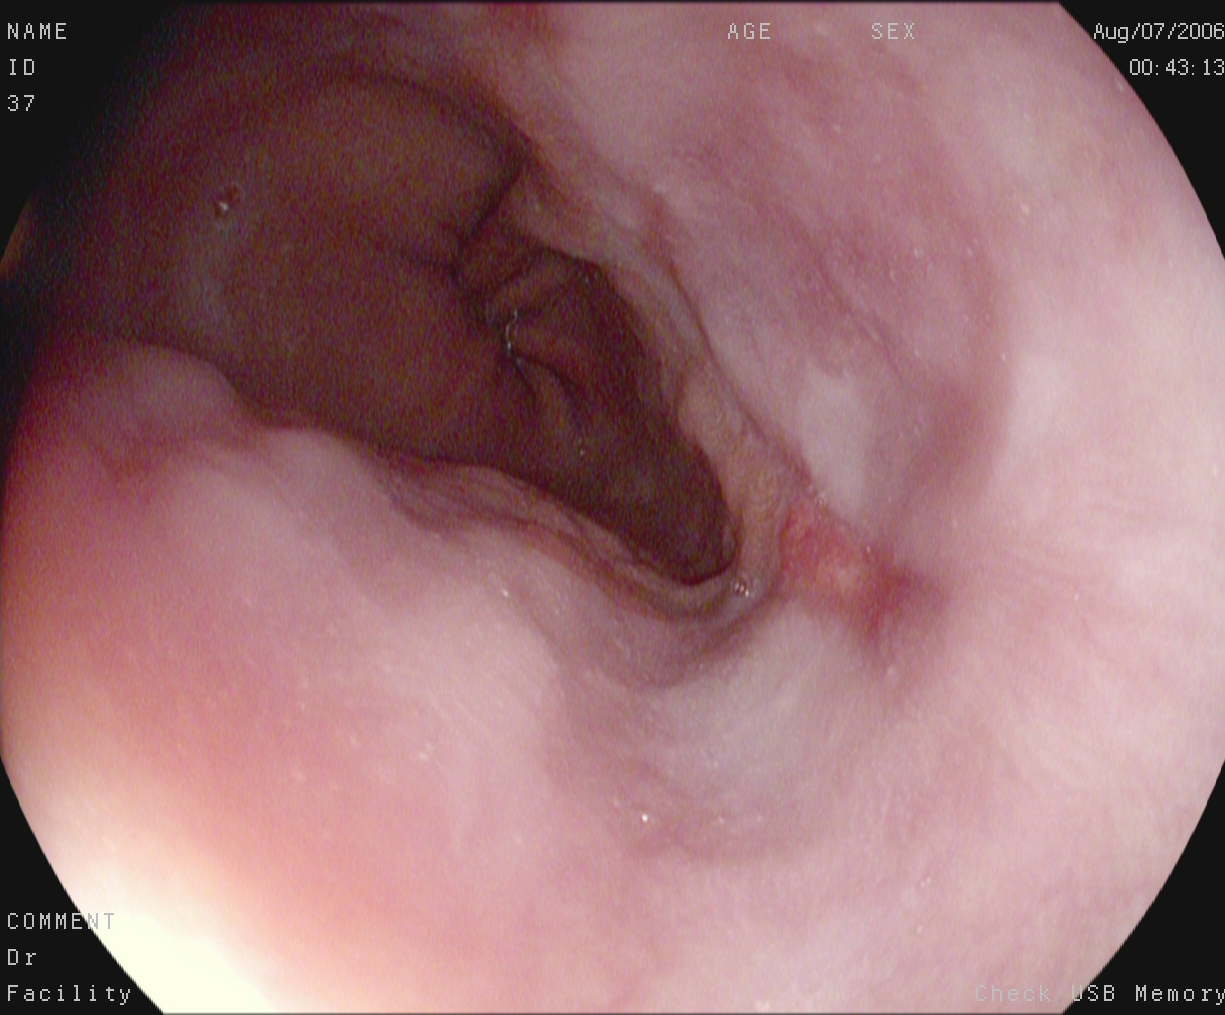This endoscopy frame shows reflux esophagitis, Los Angeles grade A.